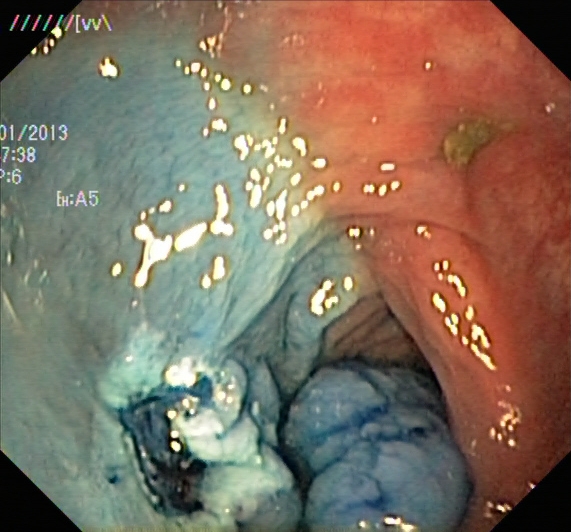Endoscopic frame of the lower GI tract showing dyed resection margins (post-polypectomy).